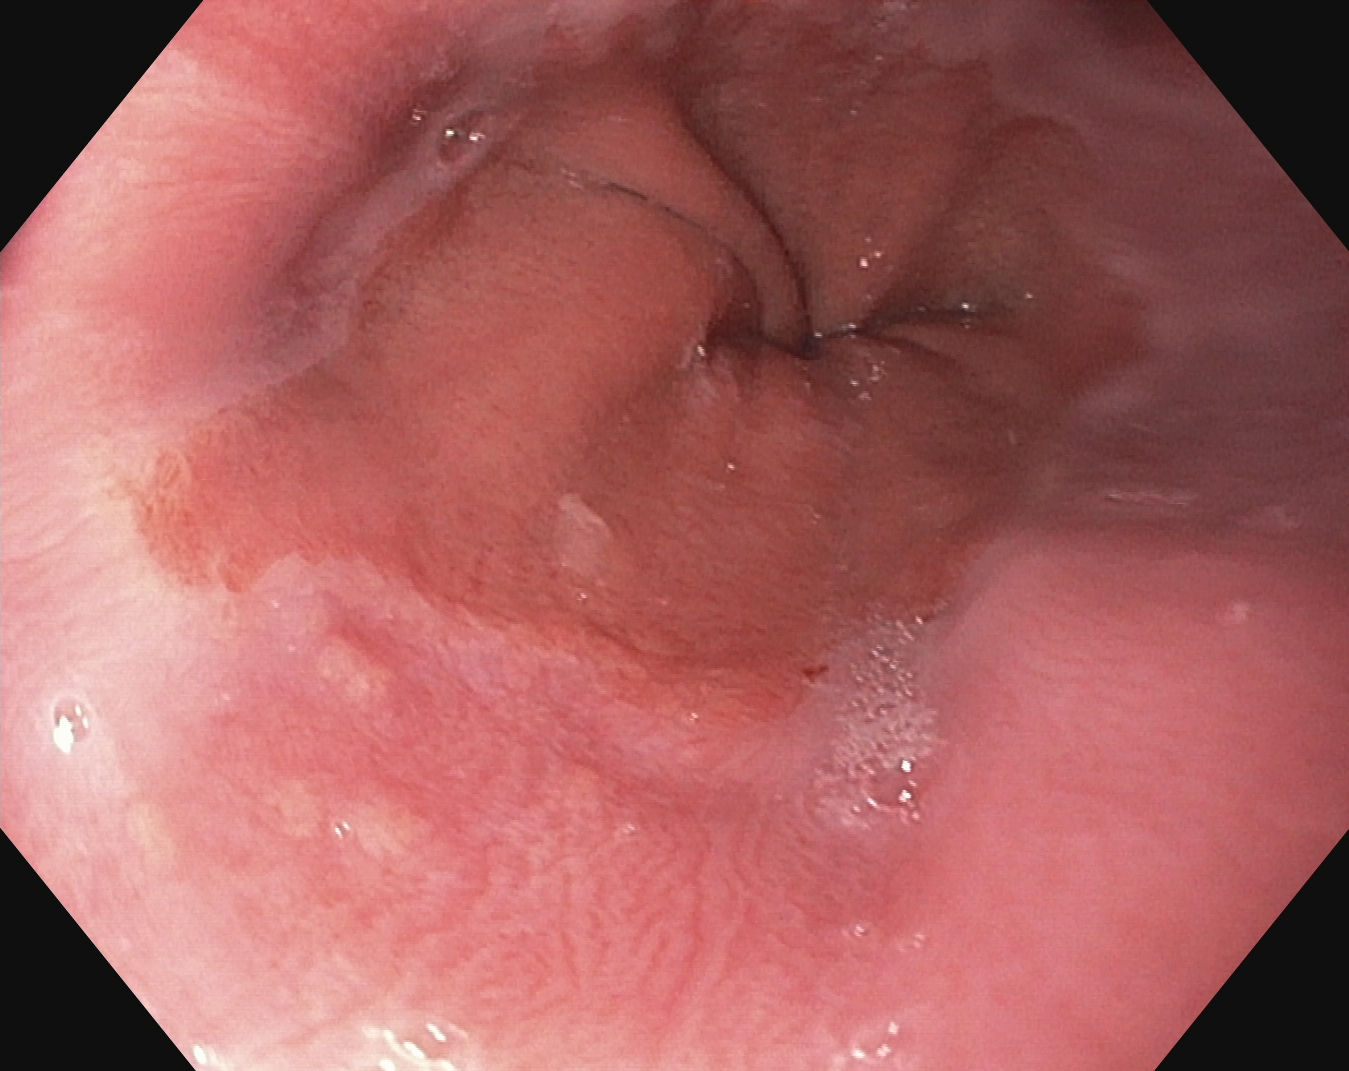This endoscopic image shows Z-line (gastroesophageal junction).